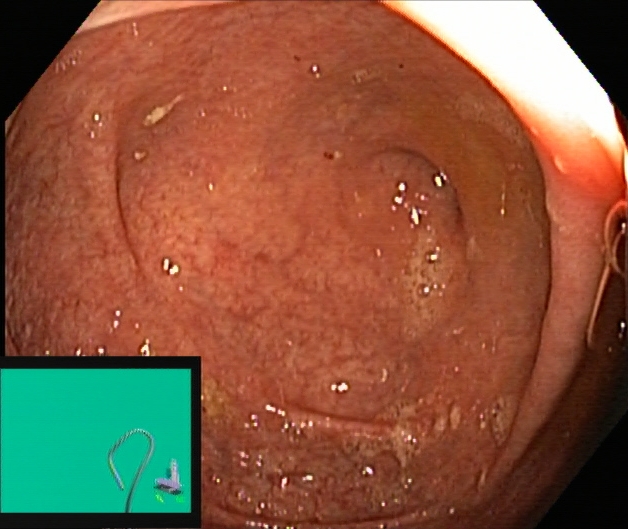{"modality": "colonoscopy", "finding": "cecum"}